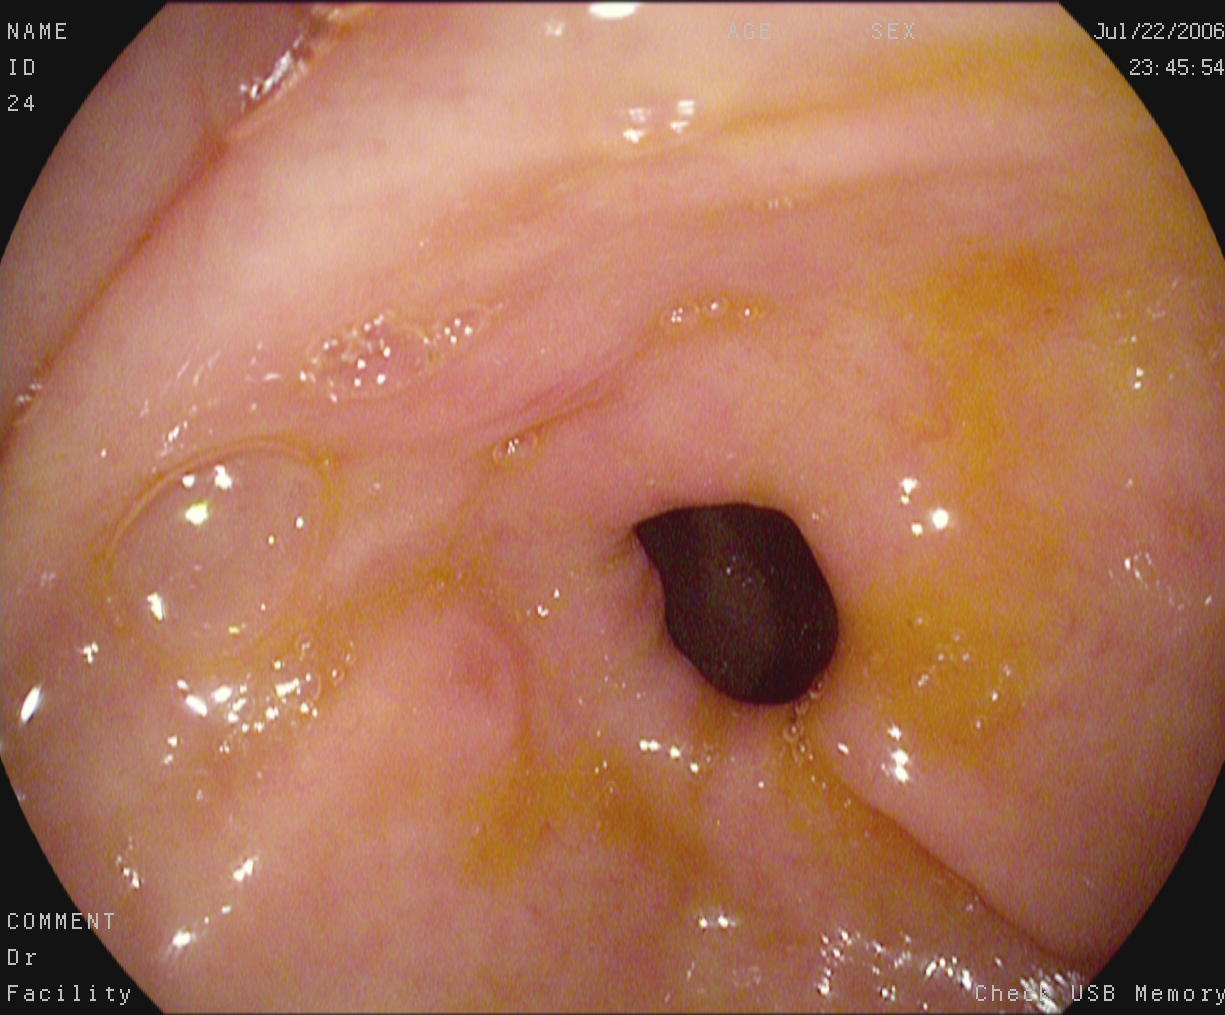Pylorus.